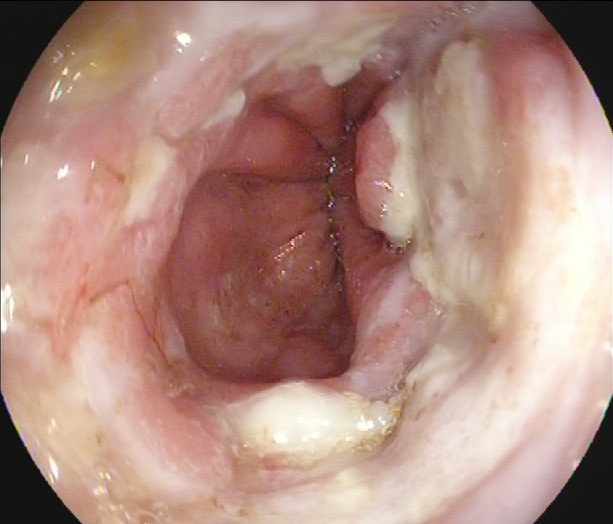Esophagogastroduodenoscopy. Finding: reflux esophagitis, Los Angeles grade B–D.